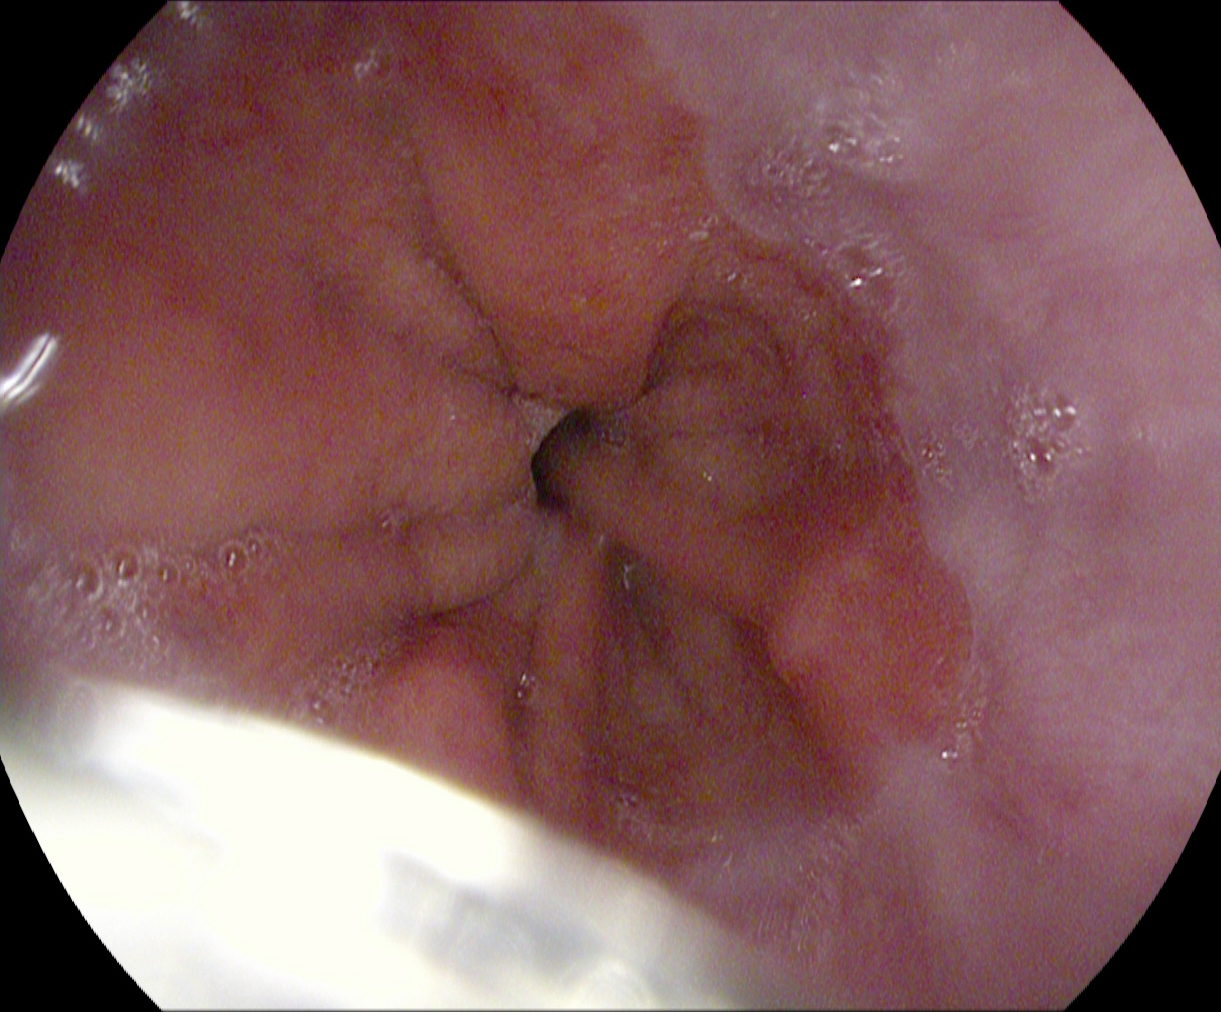This endoscopy frame of the upper GI tract shows Z-line (gastroesophageal junction).